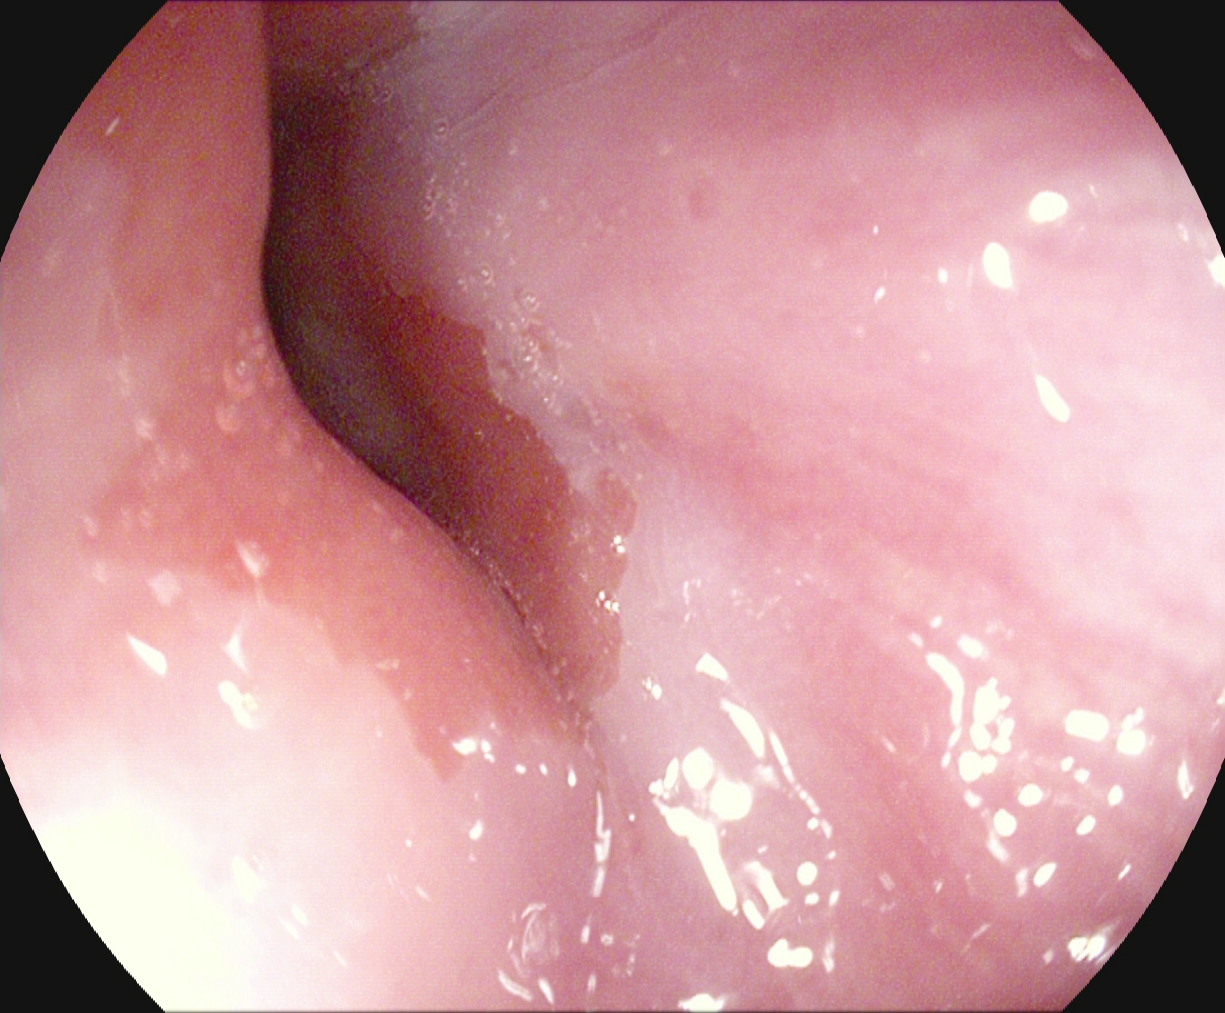modality: gastroscopy
tract: upper GI tract
category: anatomical landmark
finding: Z-line (gastroesophageal junction)